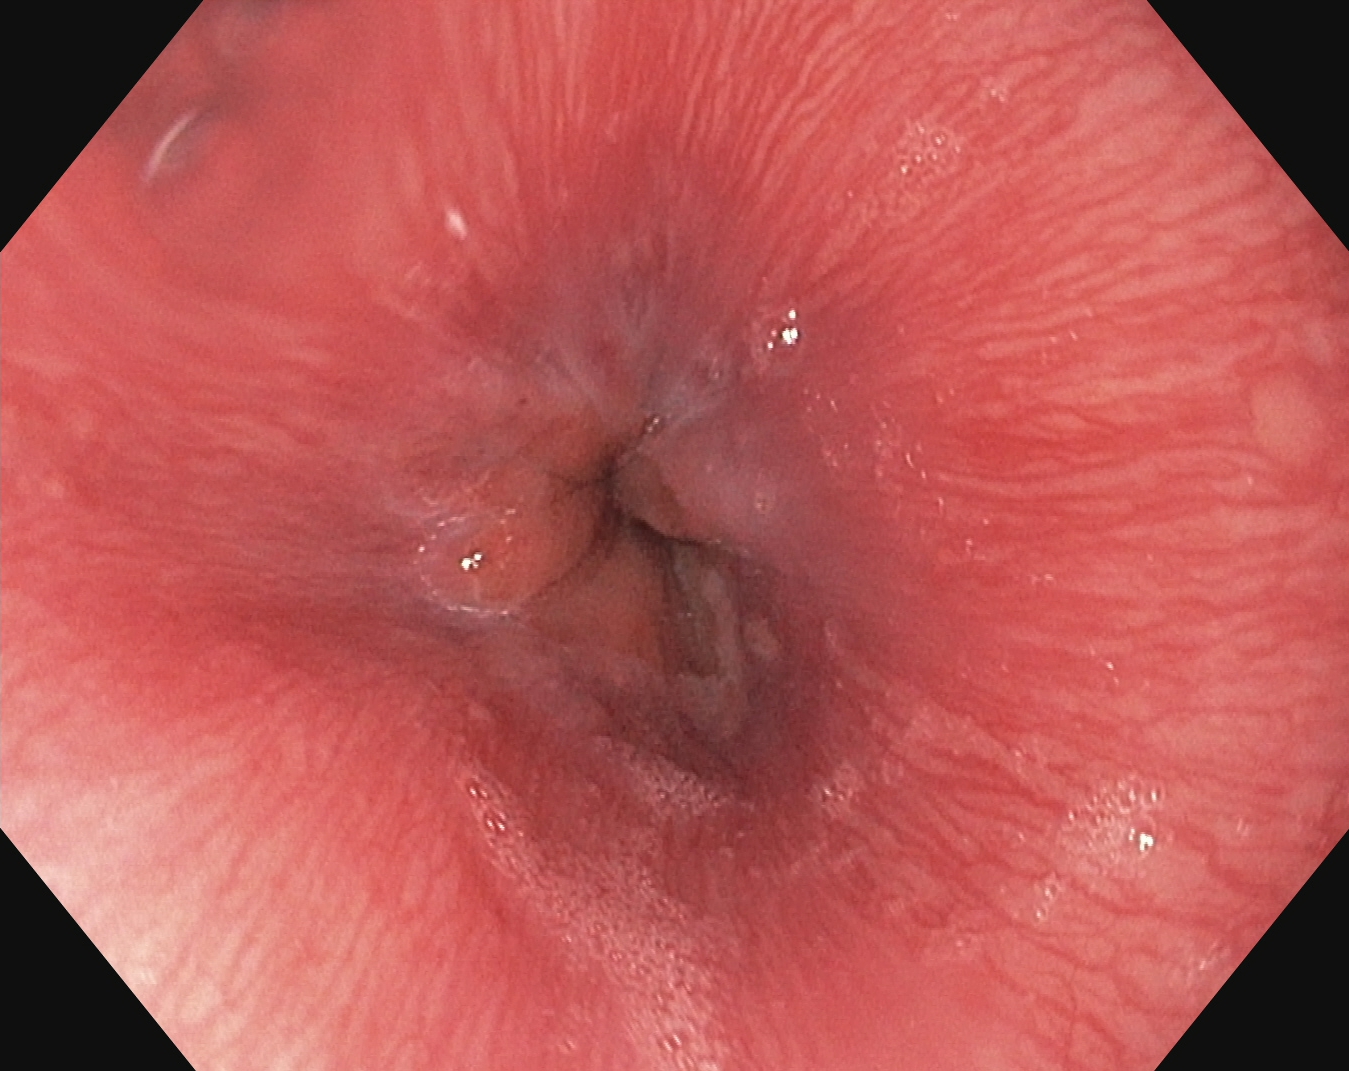Upper-GI endoscopy. Tract: upper GI tract. Anatomical landmark. Finding: Z-line (gastroesophageal junction).